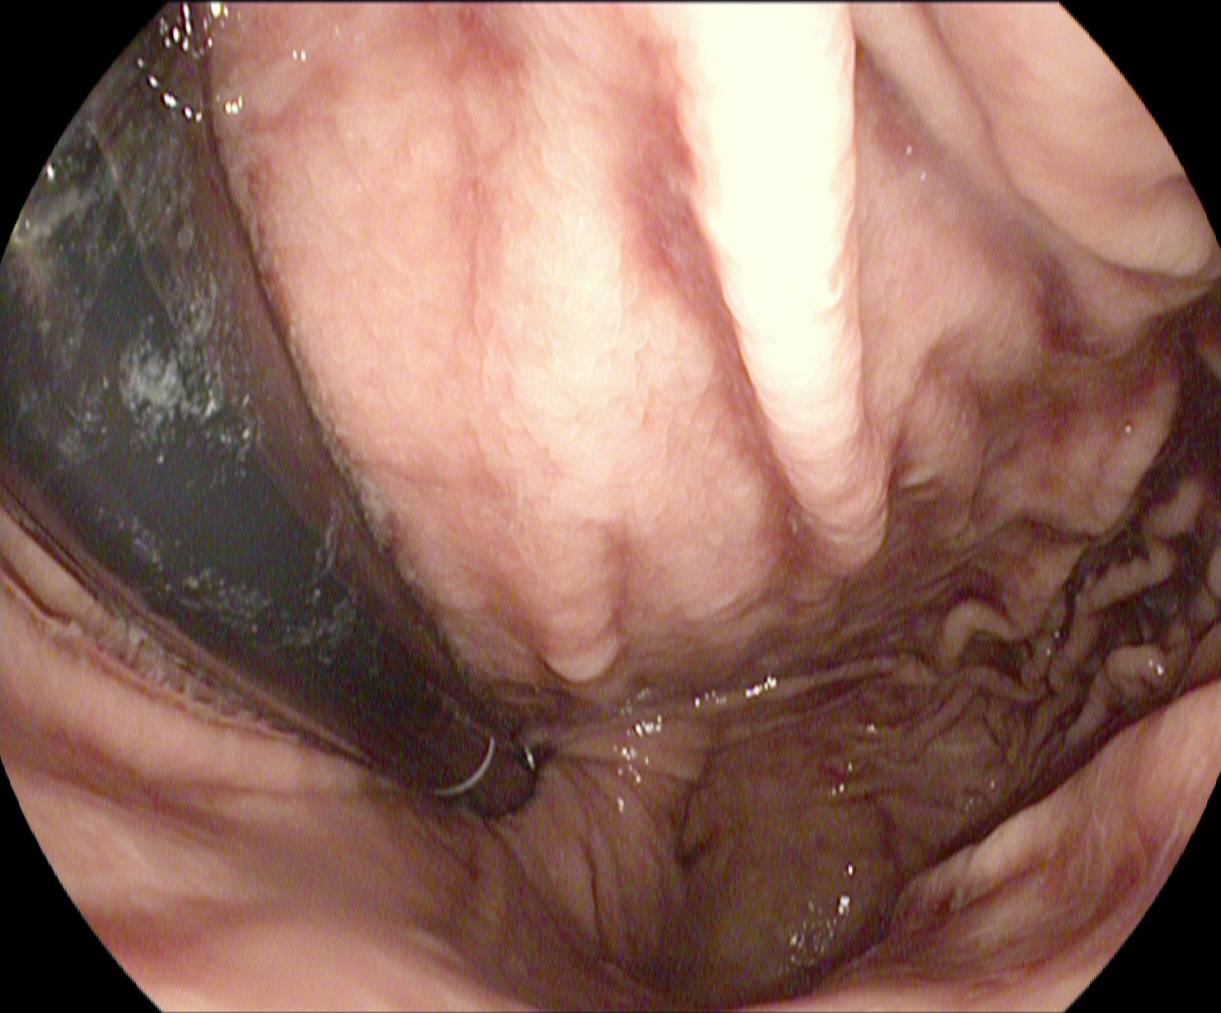{"modality": "EGD", "category": "anatomical landmark", "finding": "stomach in retroflexion"}